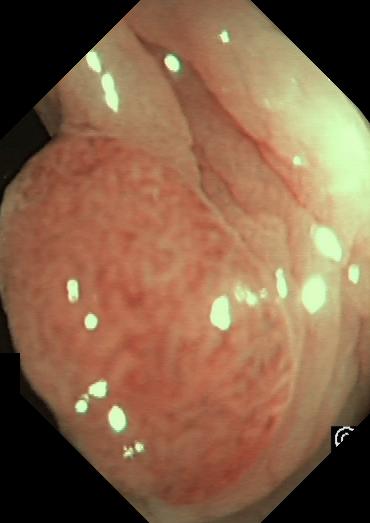Colonoscopy. Finding: colorectal polyp(s).